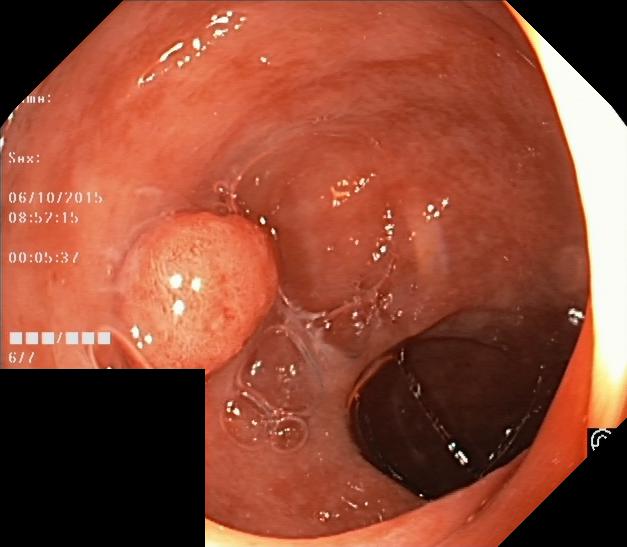Lower gastrointestinal endoscopy. Finding: colorectal polyp(s).